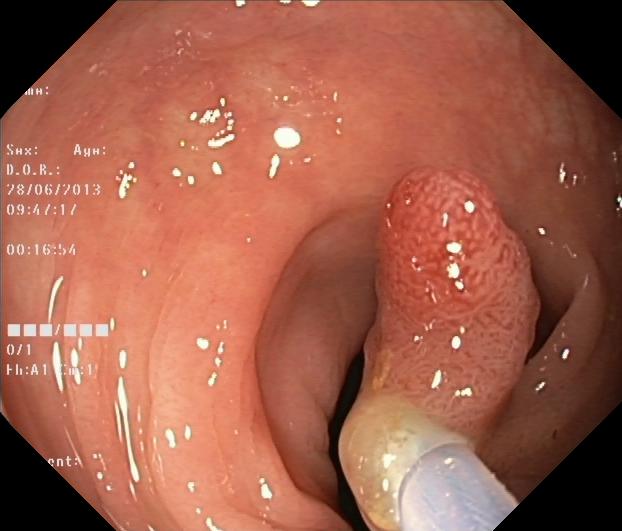This endoscopy frame of the lower GI tract shows colorectal polyp(s).